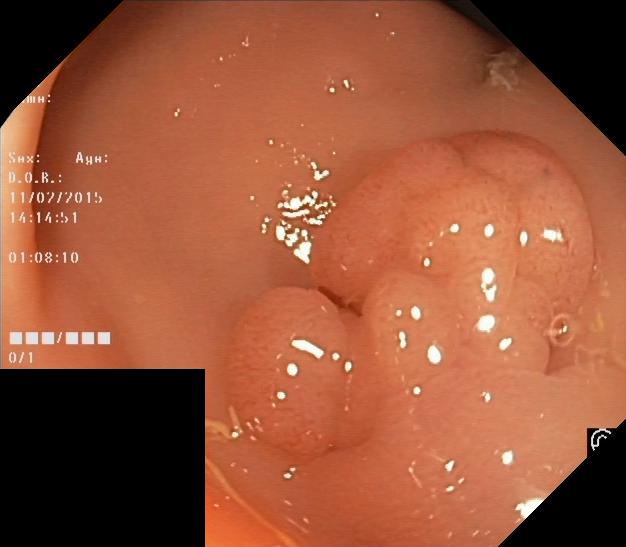Gastrointestinal endoscopy image showing colorectal polyp(s).